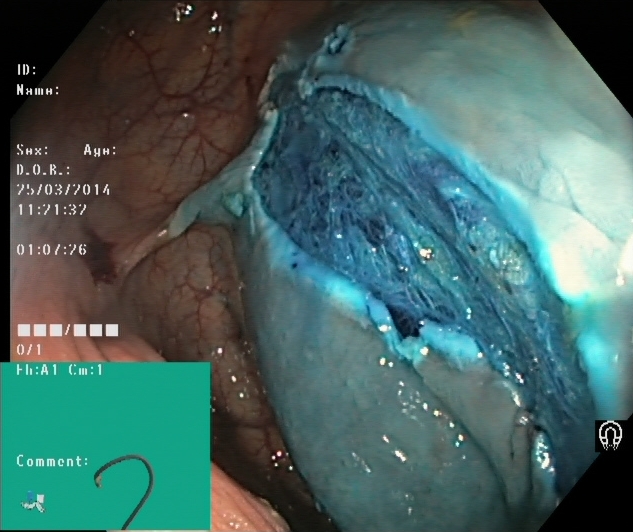{"modality": "lower gastrointestinal endoscopy", "finding": "dyed resection margins (post-polypectomy)"}